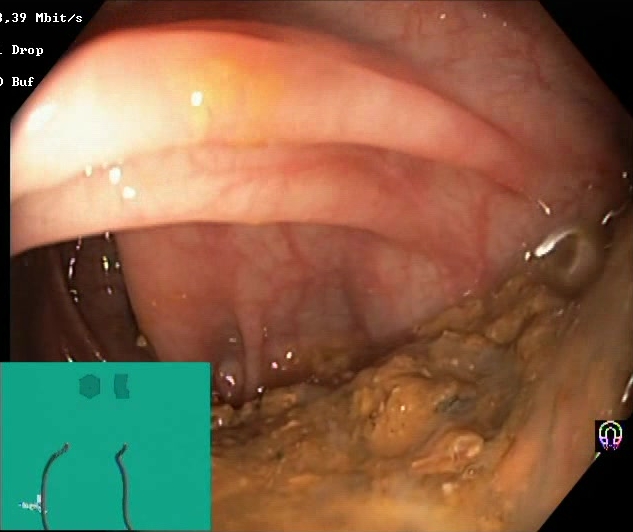Boston Bowel Preparation Scale score 0–1 (inadequate preparation).